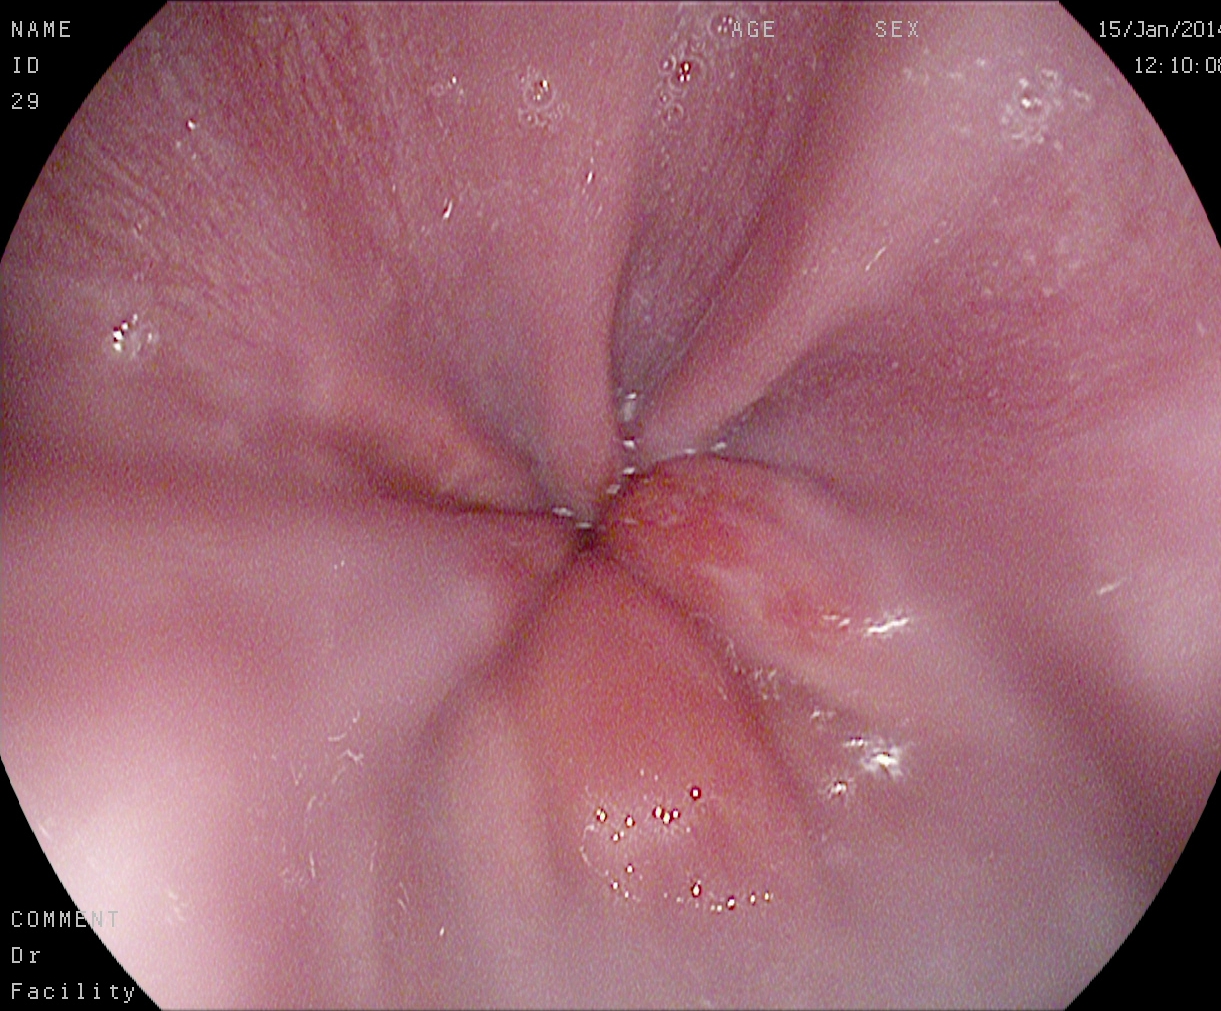Endoscopy image of the upper GI tract showing Z-line (gastroesophageal junction).